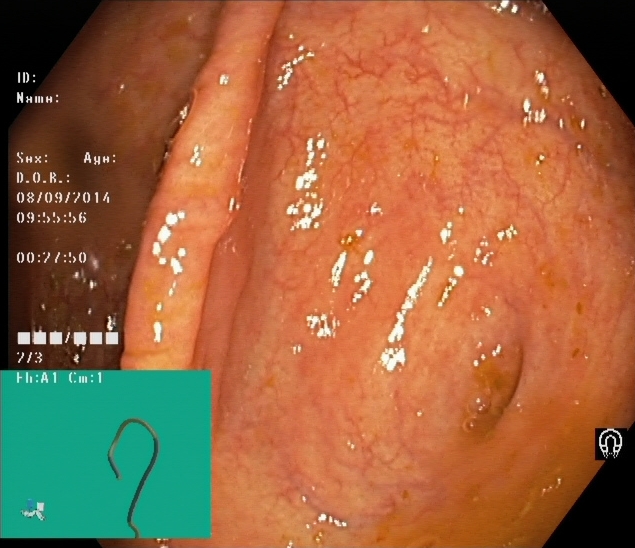Endoscopic frame showing cecum.